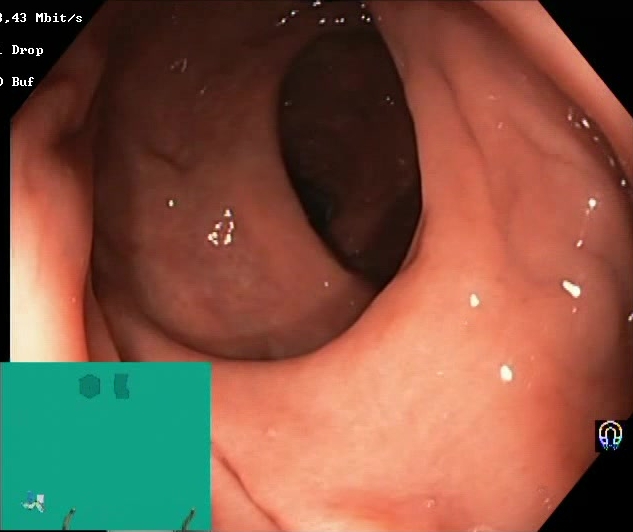BBPS score 2–3 (adequate preparation).